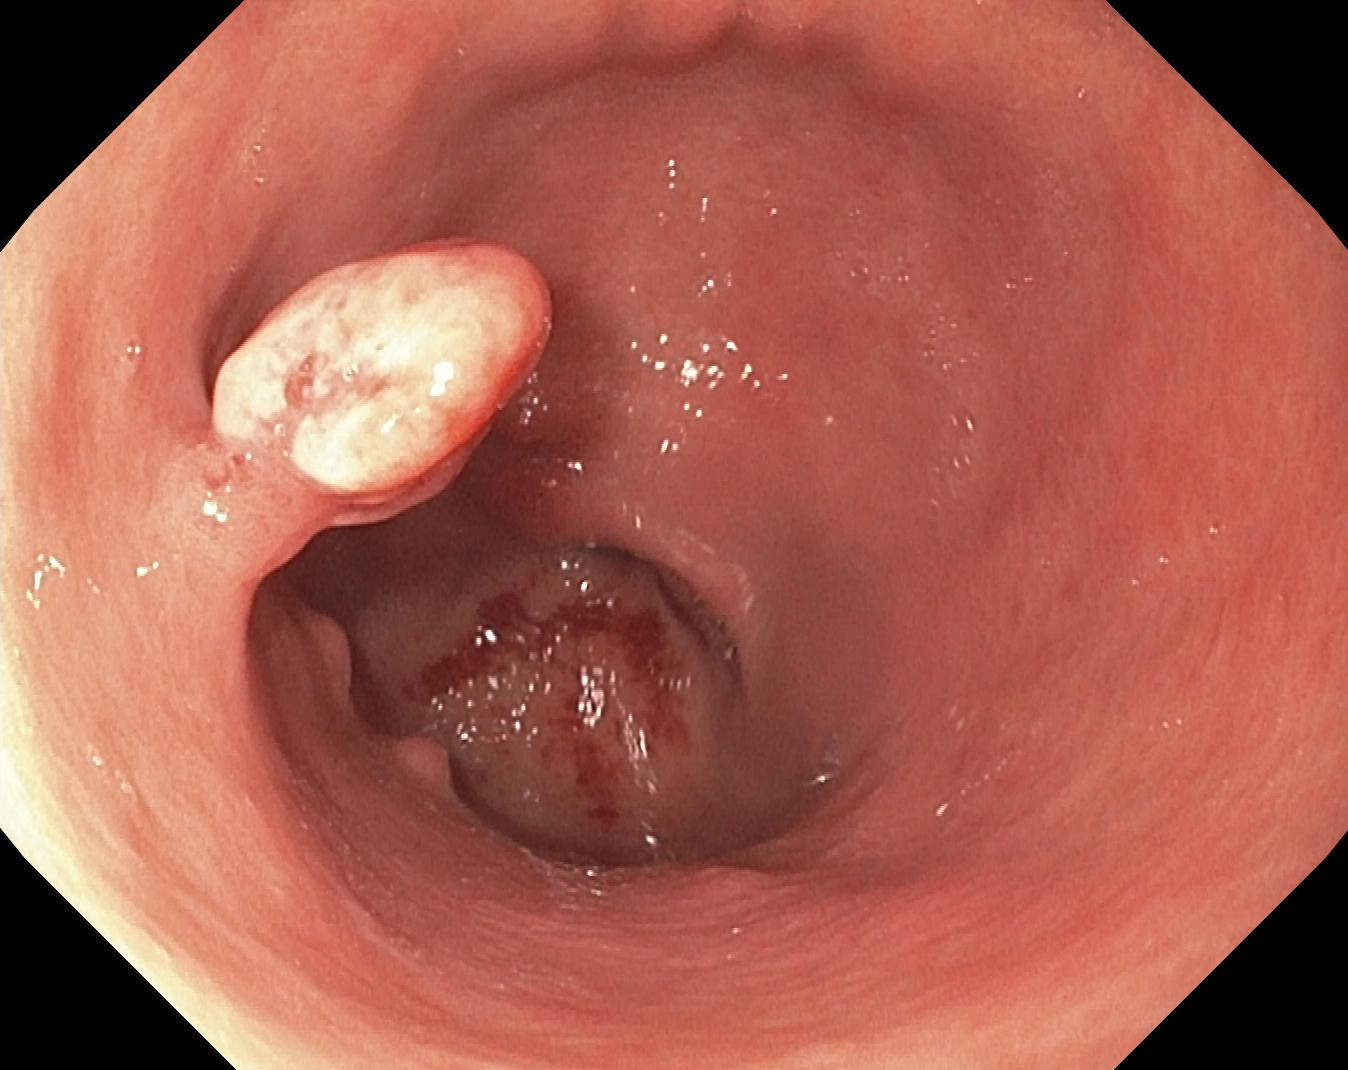This endoscopic image shows colorectal polyp(s).